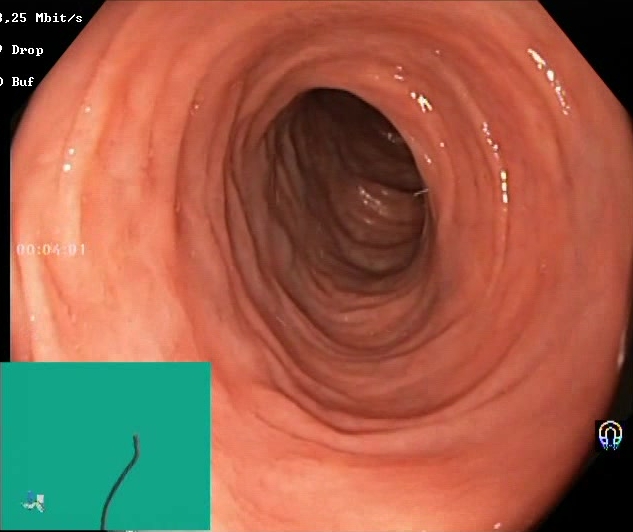PROCEDURE: Lower gastrointestinal endoscopy.
CATEGORY: Mucosal-view quality.
FINDINGS: BBPS score 2–3 (adequate preparation).